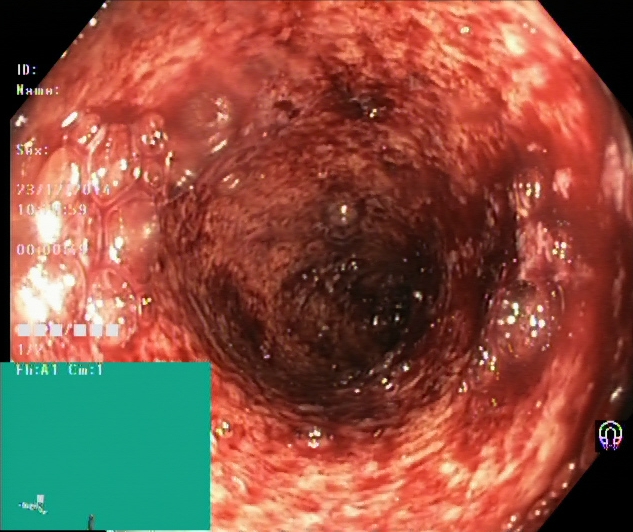This endoscopy frame shows UC, Mayo endoscopic subscore 3.